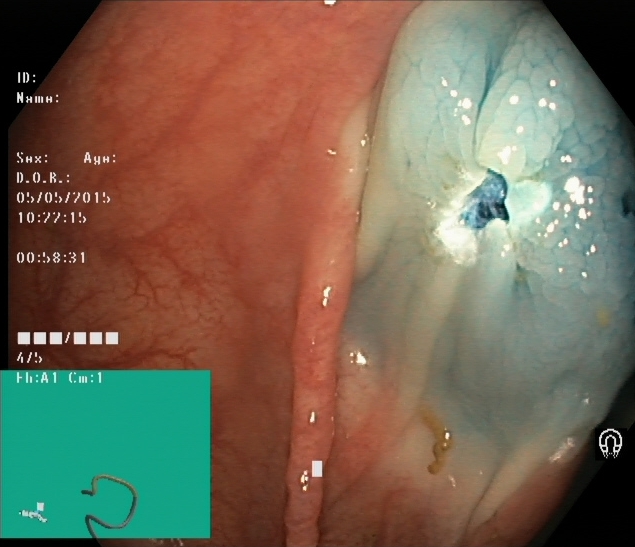This endoscopic image of the lower GI tract shows dyed resection margins (post-polypectomy).